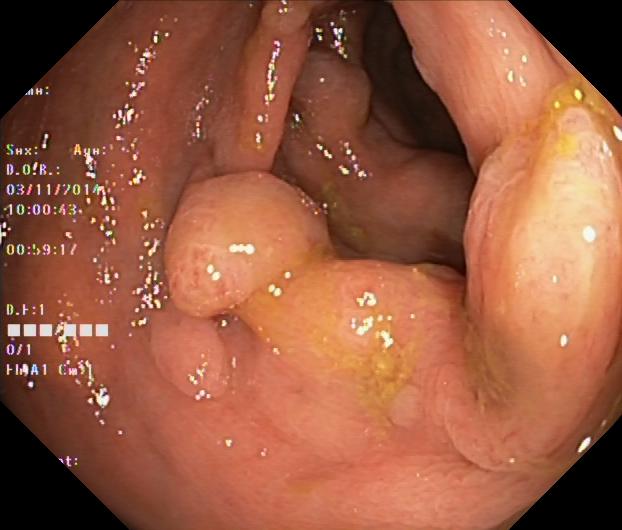Colorectal polyp(s).